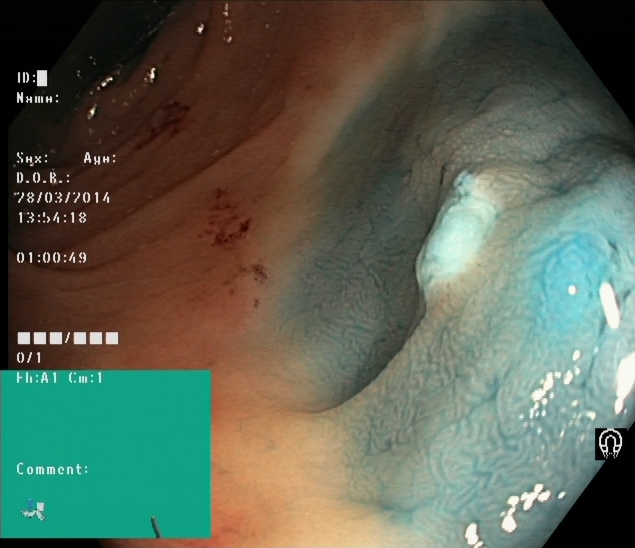This endoscopic image shows dyed and lifted polyp (pre-resection).